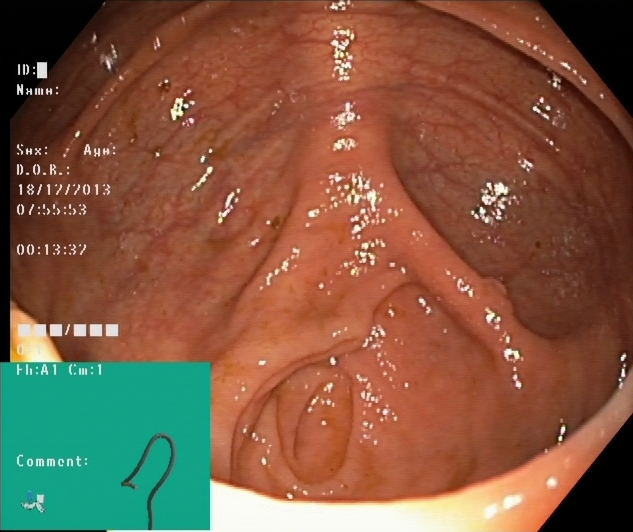modality: lower-GI endoscopy
tract: lower GI tract
finding: cecum